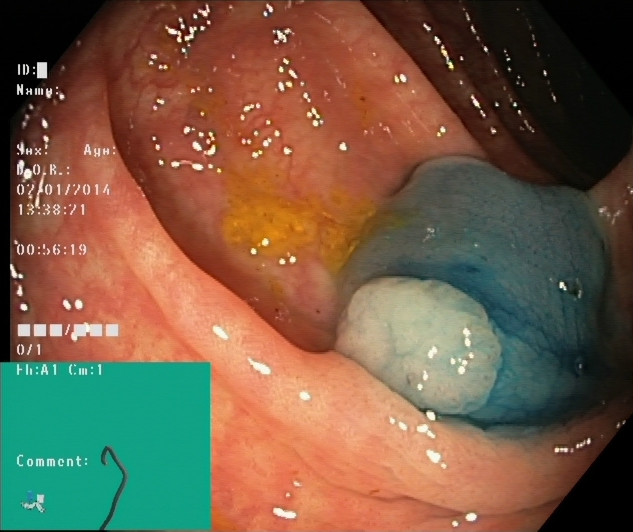This endoscopy frame shows dyed and lifted polyp (pre-resection).